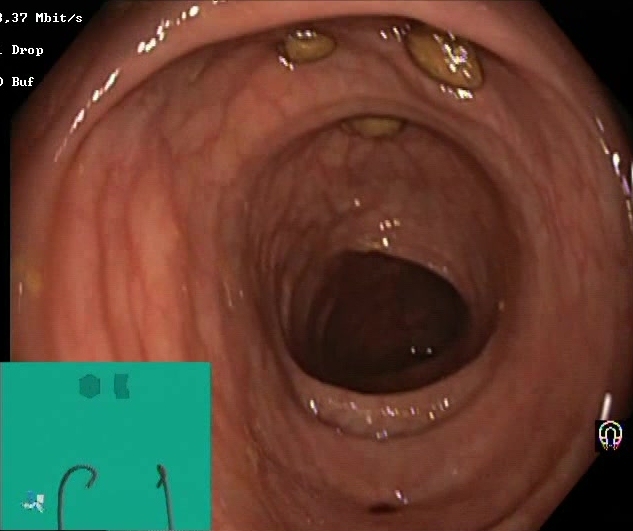Lower gastrointestinal endoscopy — impacted stool.